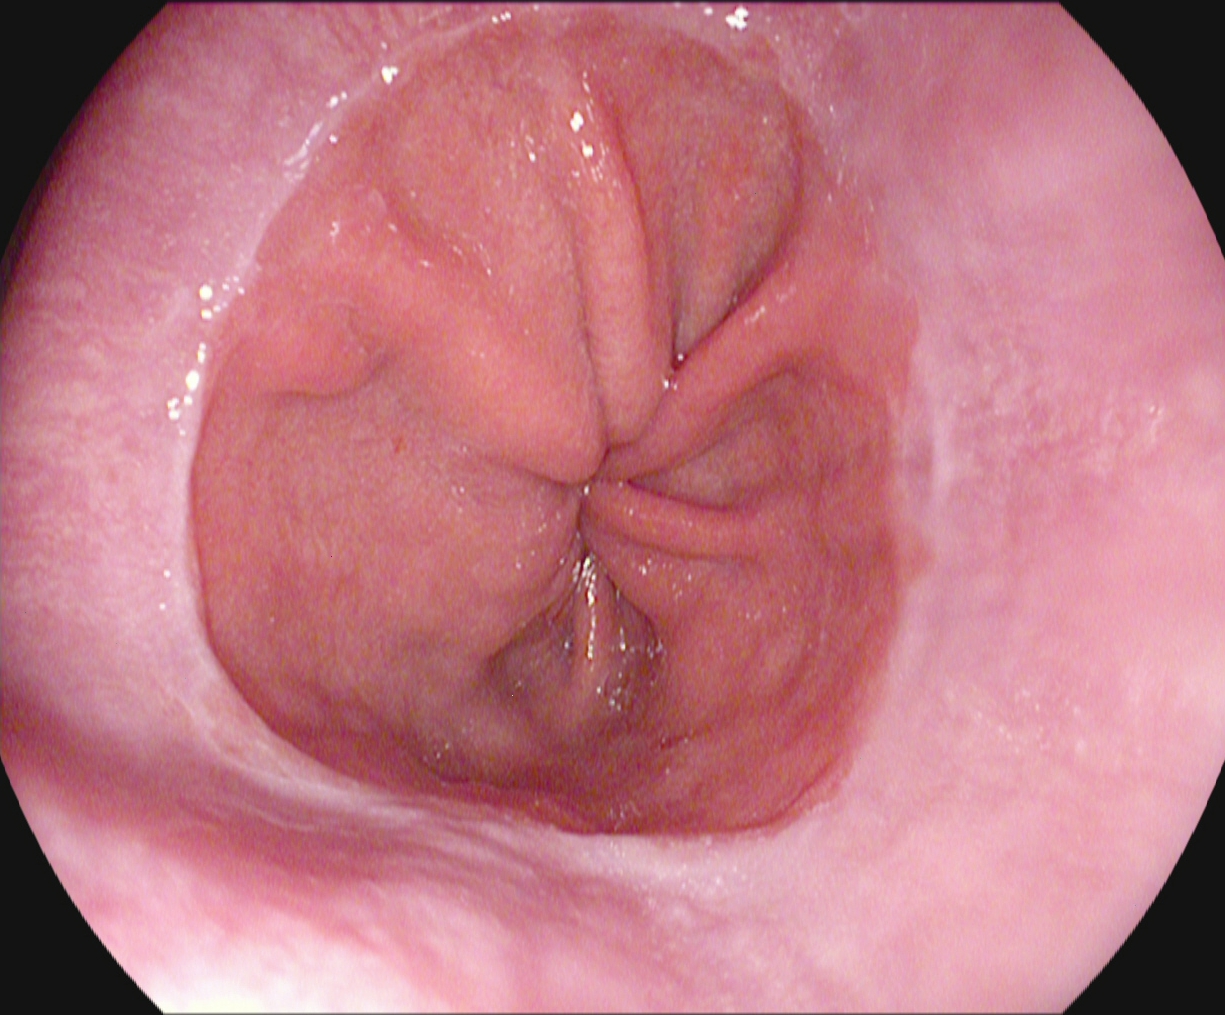modality: esophagogastroduodenoscopy | tract: upper GI tract | finding: Z-line (gastroesophageal junction)